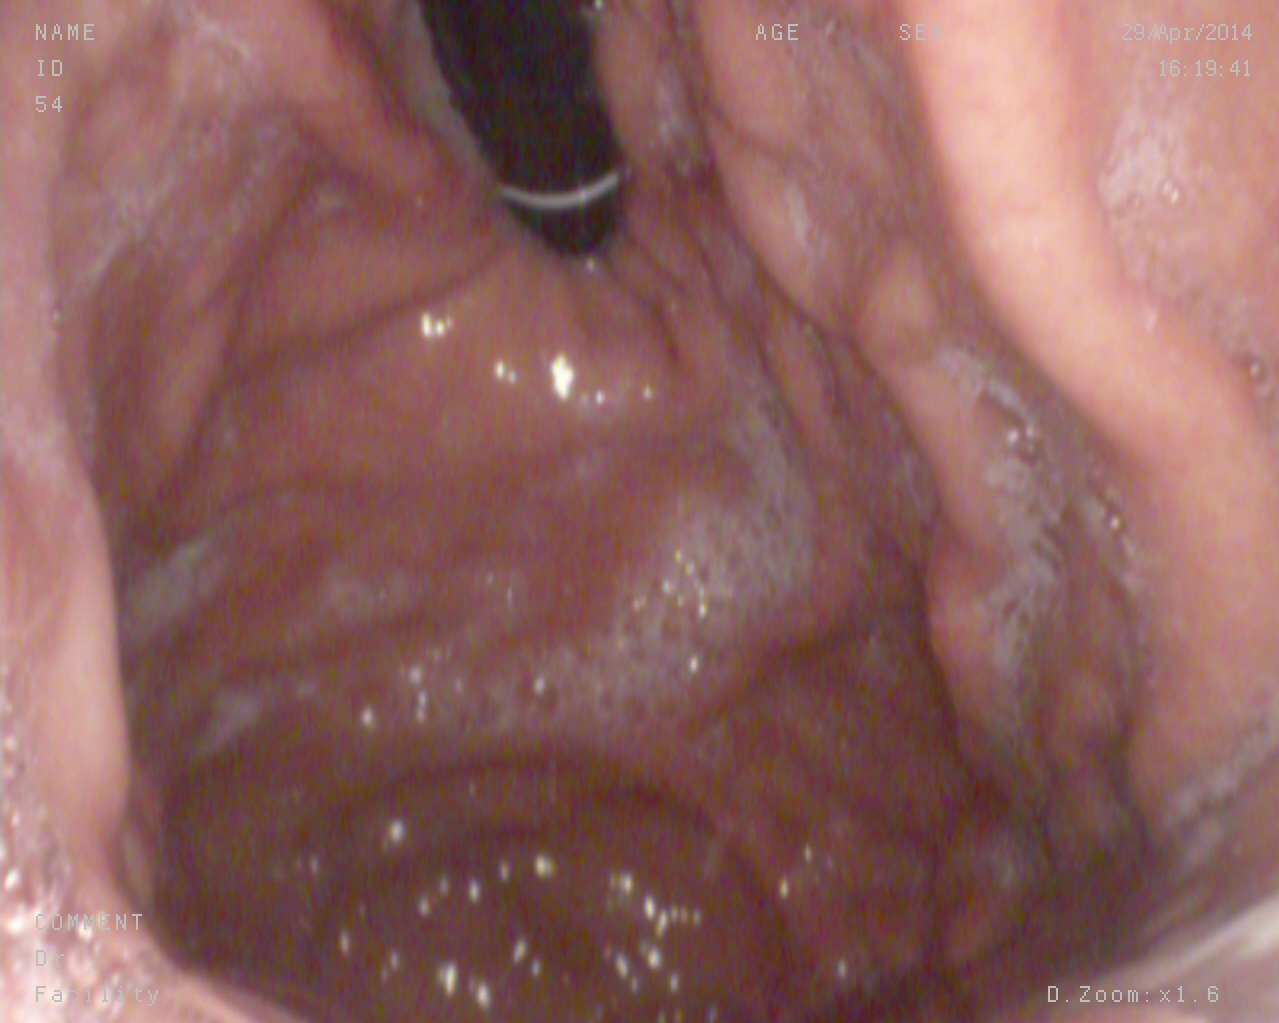Stomach in retroflexion.